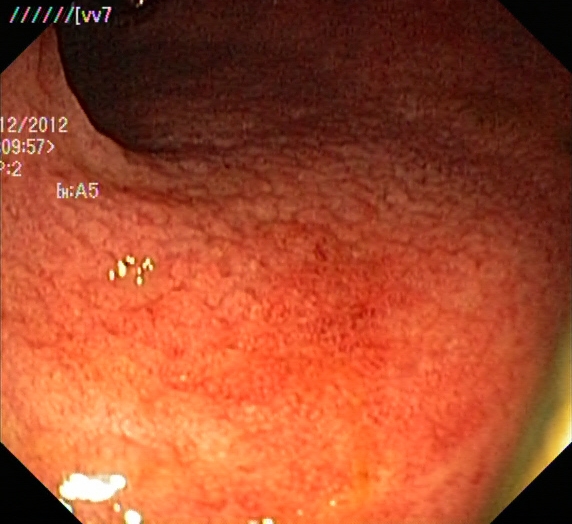Endoscopic image of the lower GI tract showing ulcerative colitis, Mayo endoscopic subscore 2.